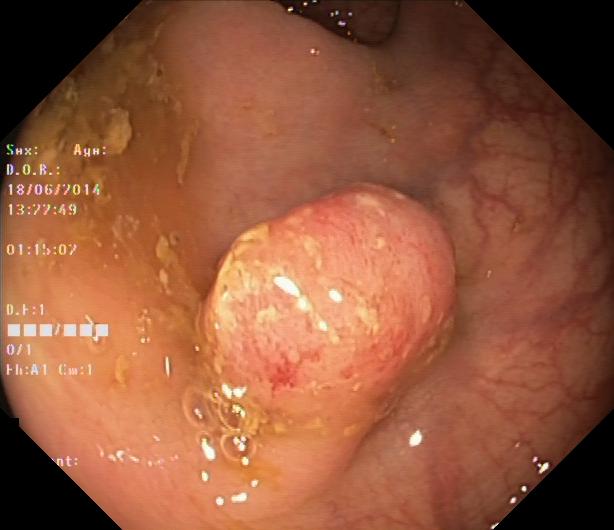Colonoscopy — colorectal polyp(s).